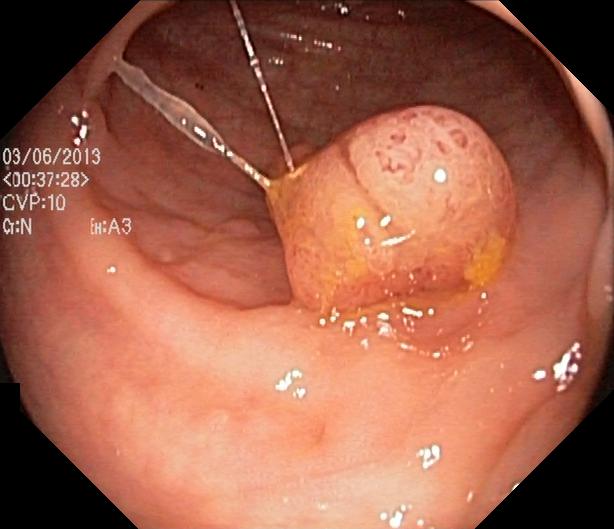Colorectal polyp(s).